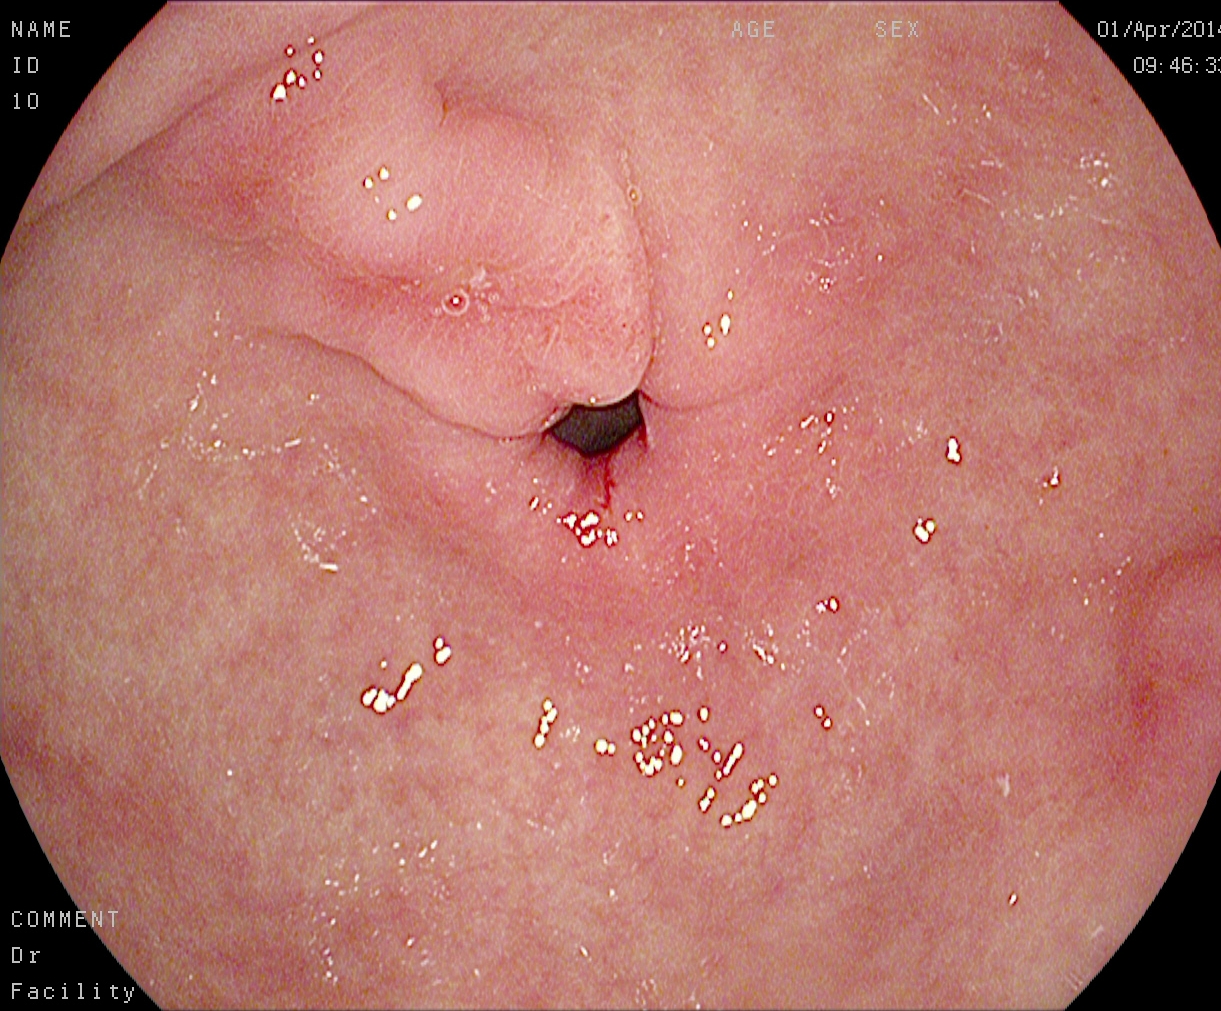PROCEDURE: Esophagogastroduodenoscopy.
FINDINGS: Pylorus.